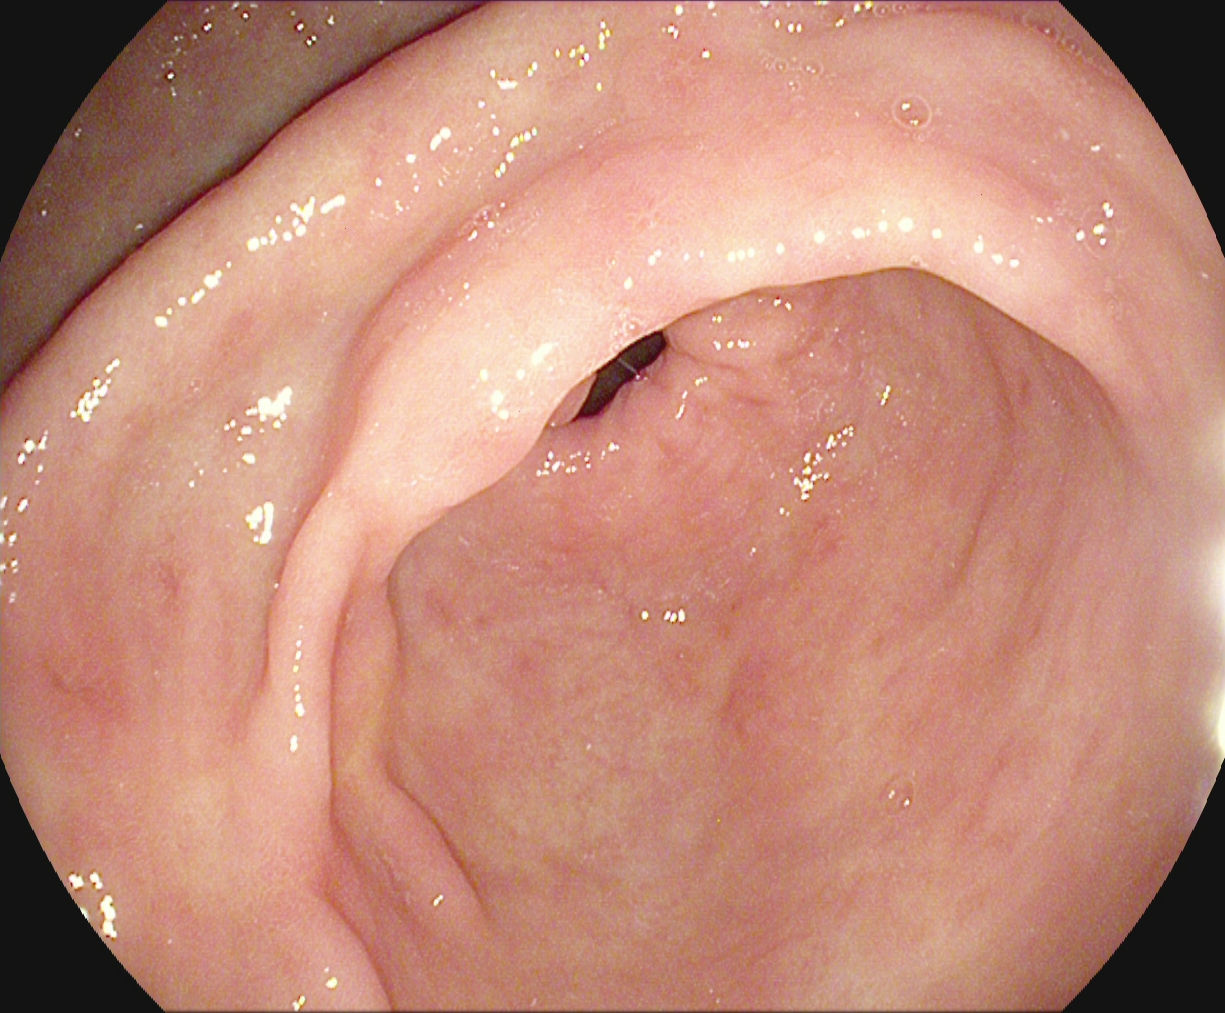Esophagogastroduodenoscopy. Finding: pylorus.